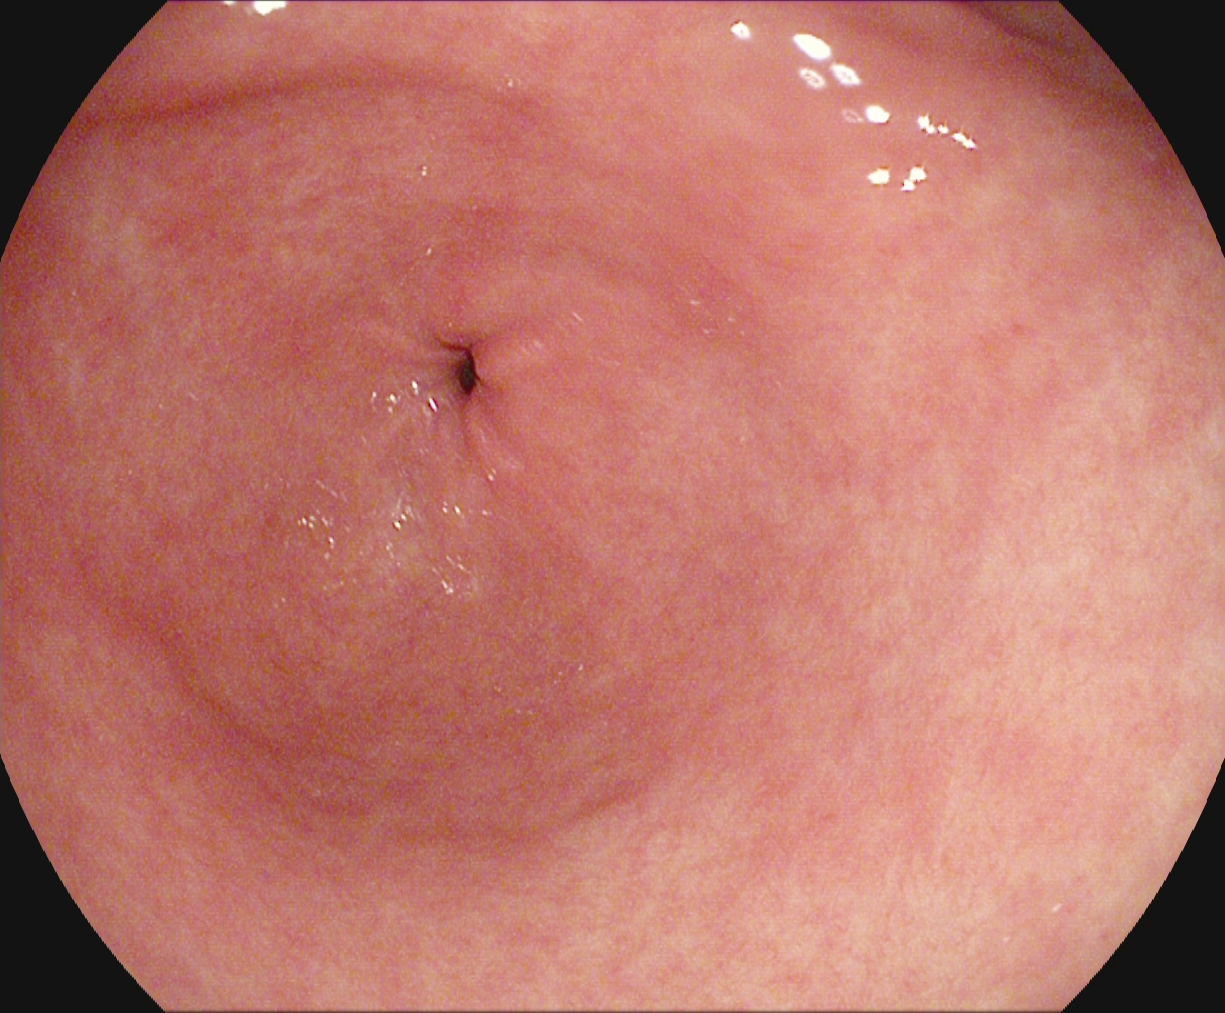{"modality": "esophagogastroduodenoscopy", "category": "anatomical landmark", "finding": "pylorus"}